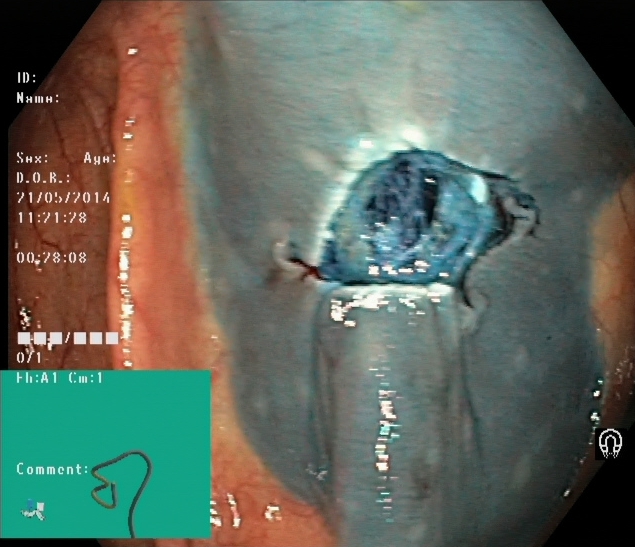This endoscopic image of the lower GI tract shows dyed resection margins (post-polypectomy).